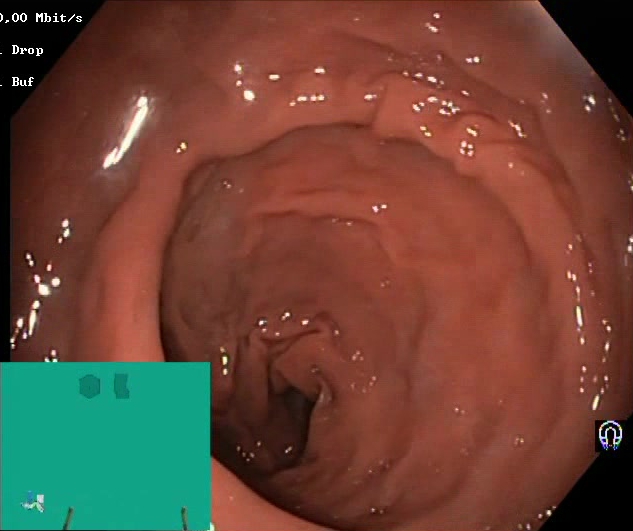Lower gastrointestinal endoscopy — Boston Bowel Preparation Scale score 2–3 (adequate preparation).